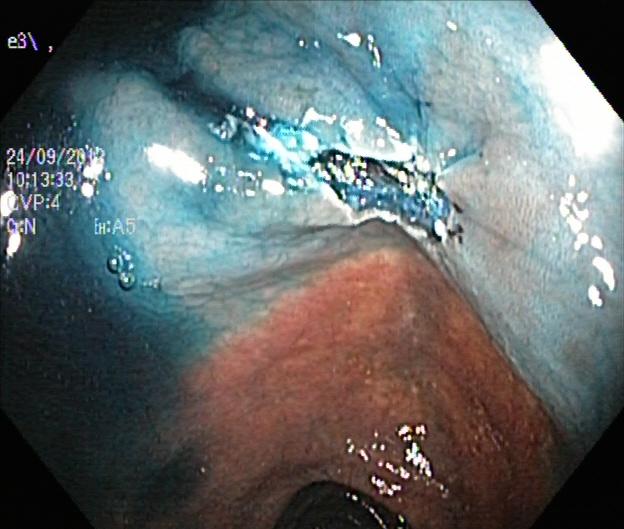This endoscopic image of the lower GI tract shows dyed resection margins (post-polypectomy).